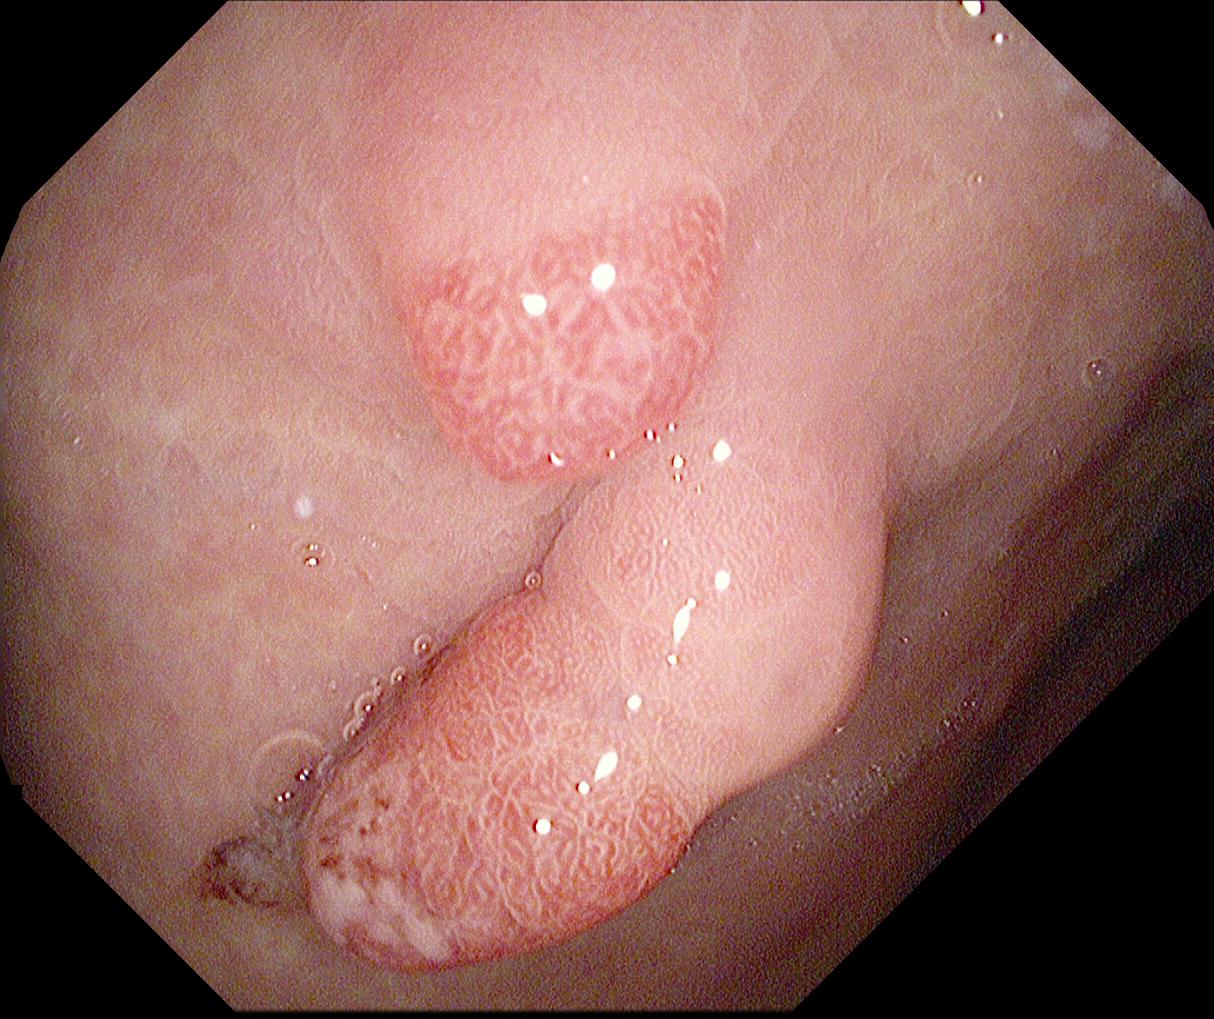This endoscopy frame shows colorectal polyp(s).